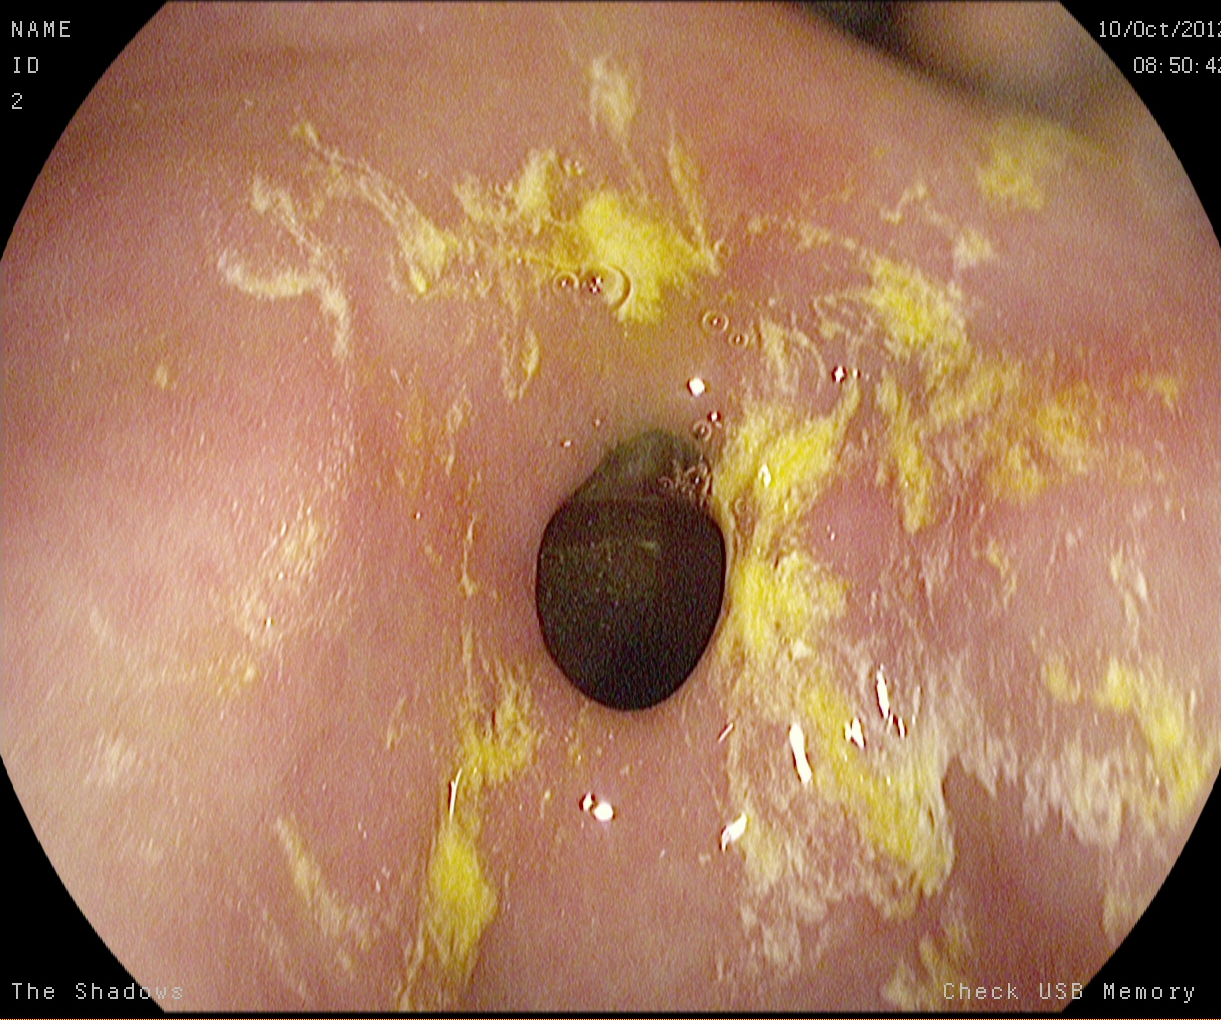{"modality": "gastroscopy", "tract": "upper GI tract", "finding": "pylorus"}